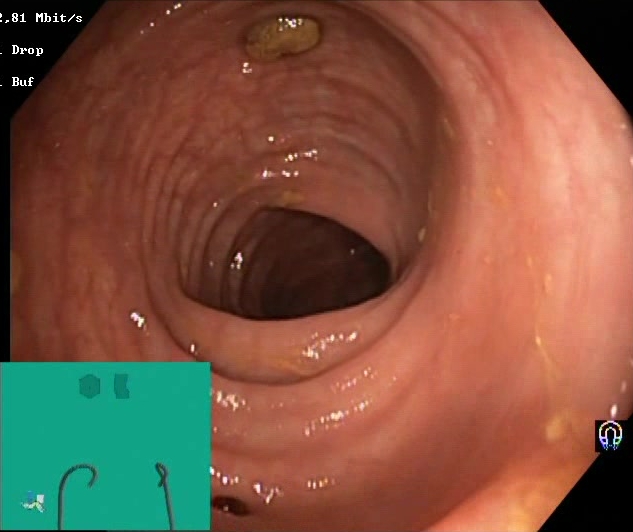modality: lower-GI endoscopy
tract: lower GI tract
category: mucosal-view quality
finding: Boston Bowel Preparation Scale score 2–3 (adequate preparation)